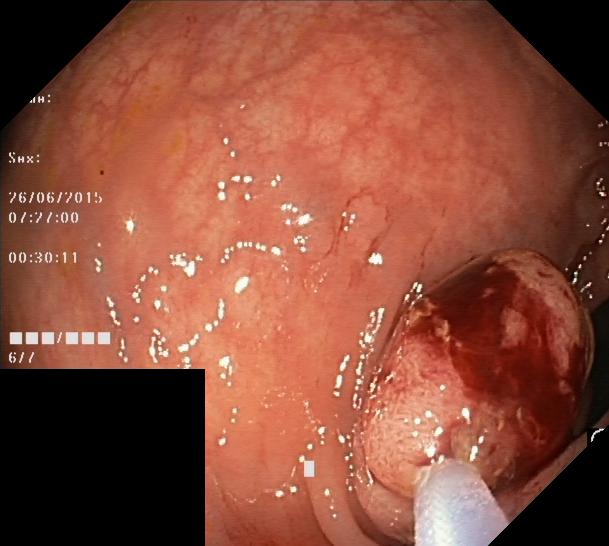Lower-GI endoscopy. Pathological finding. Finding: colorectal polyp(s).